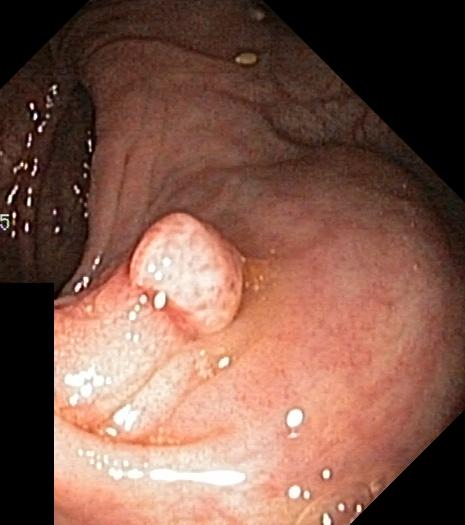Lower gastrointestinal endoscopy — colorectal polyp(s).